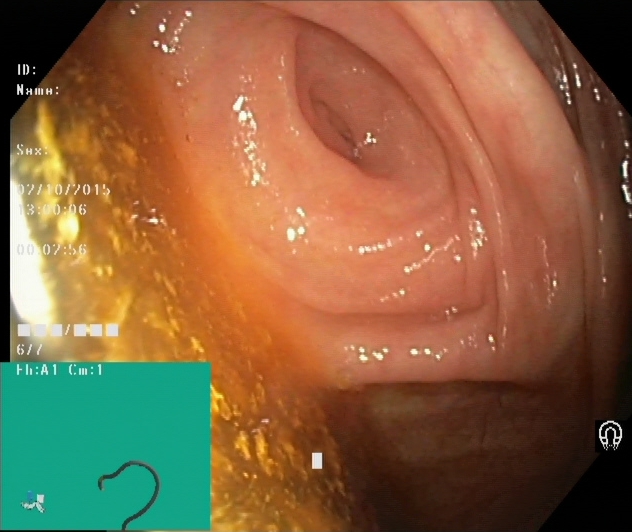modality: colonoscopy
finding: cecum